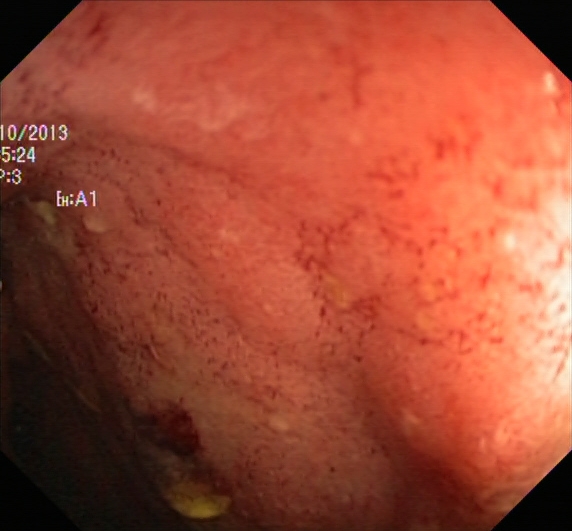Lower-GI endoscopy image showing UC, Mayo endoscopic subscore 2.